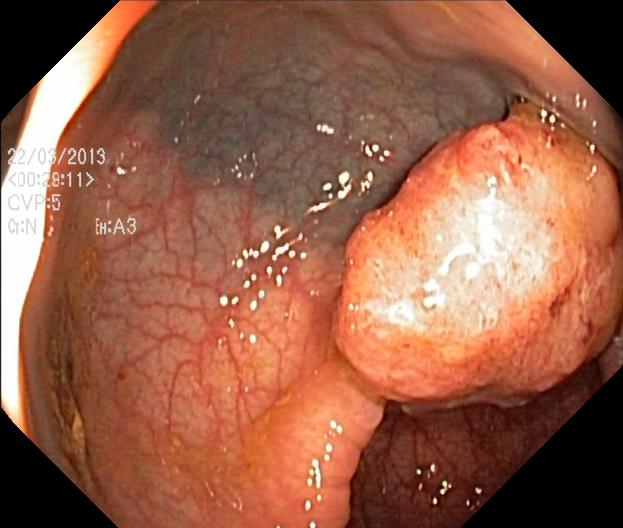PROCEDURE: Colonoscopy.
CATEGORY: Pathological finding.
FINDINGS: Colorectal polyp(s).